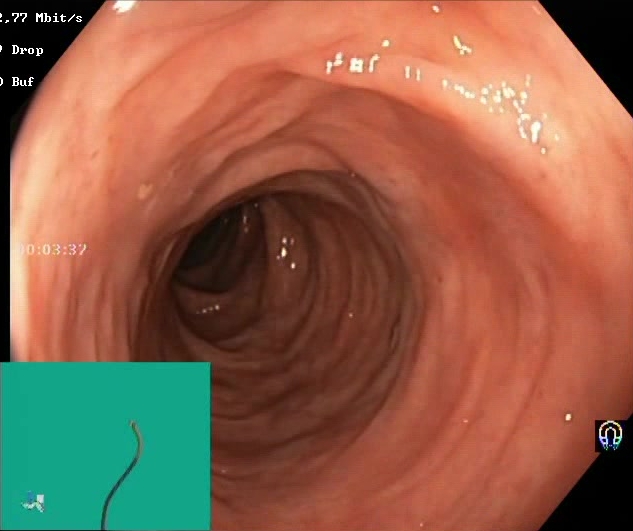This endoscopic image of the lower GI tract shows Boston Bowel Preparation Scale score 2–3 (adequate preparation).